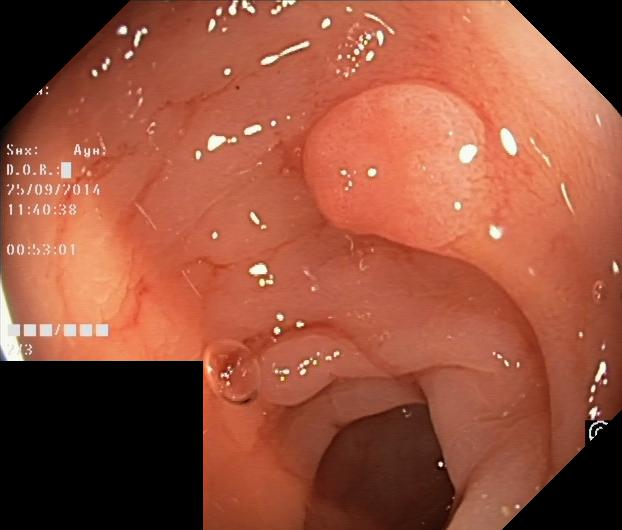Colorectal polyp(s).